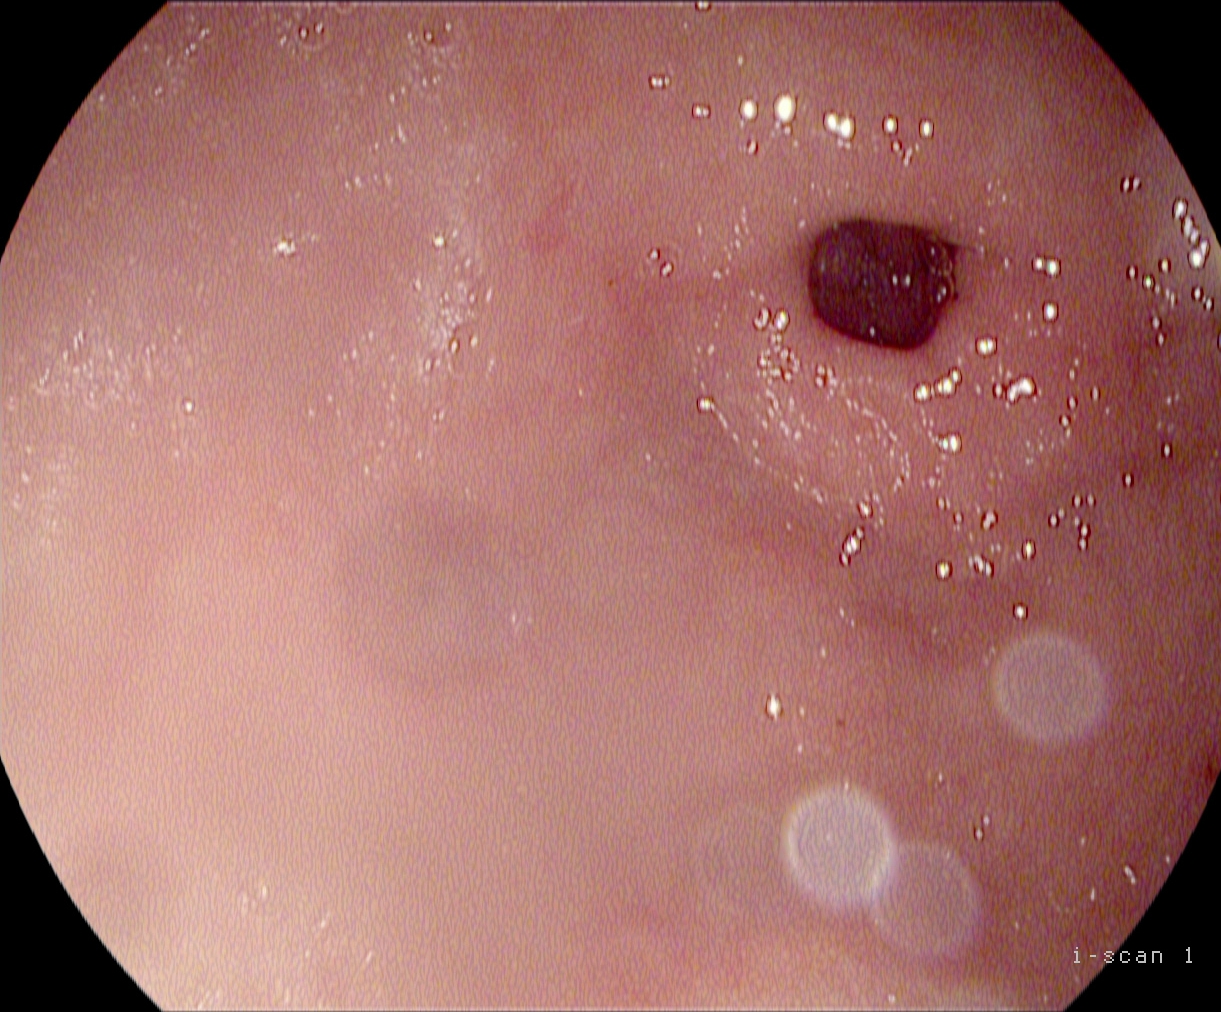{"modality": "upper-GI endoscopy", "tract": "upper GI tract", "category": "anatomical landmark", "finding": "pylorus"}